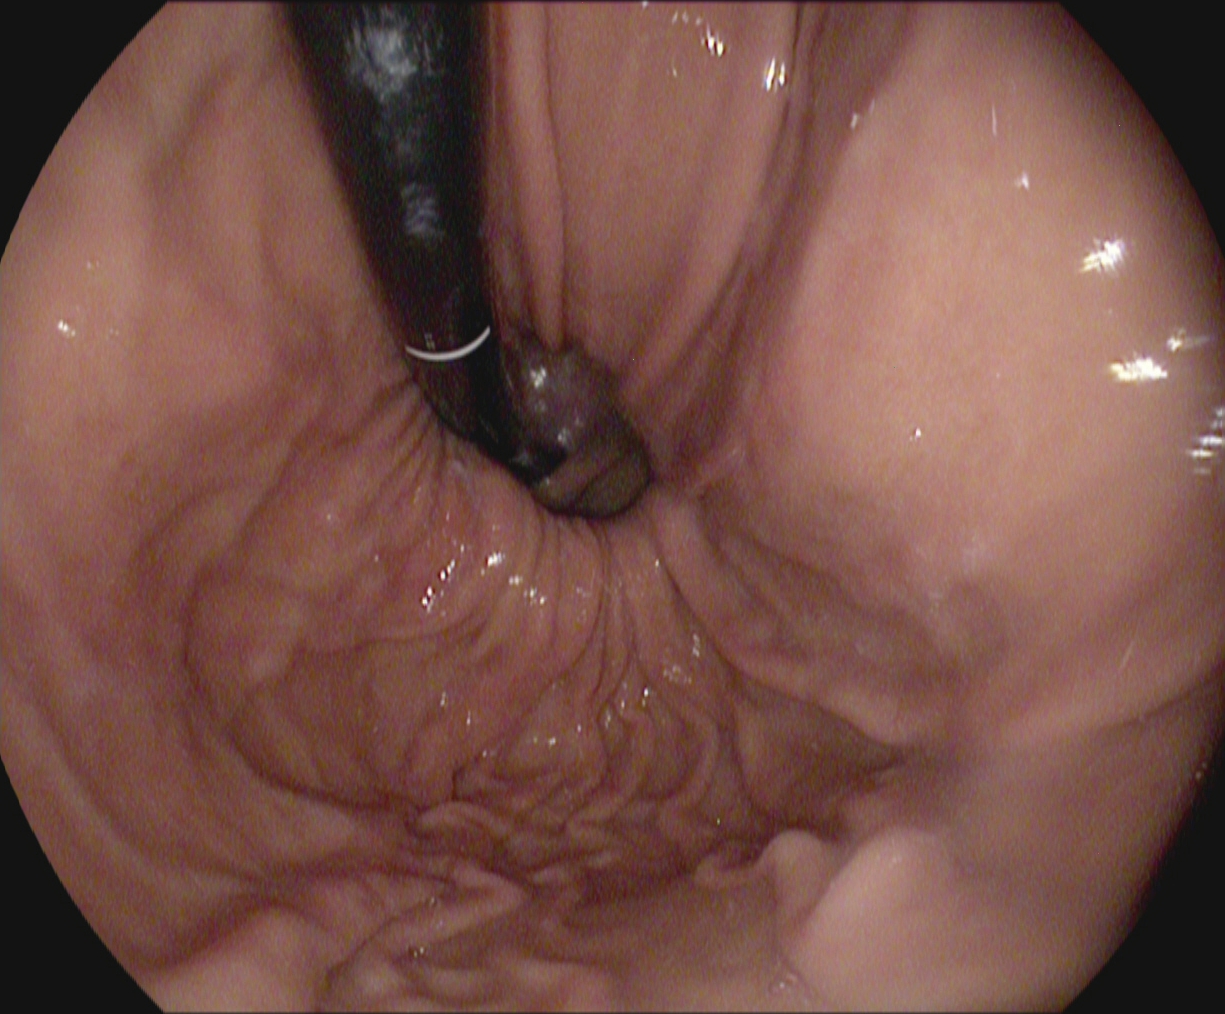Endoscopic frame of the upper GI tract showing stomach in retroflexion.